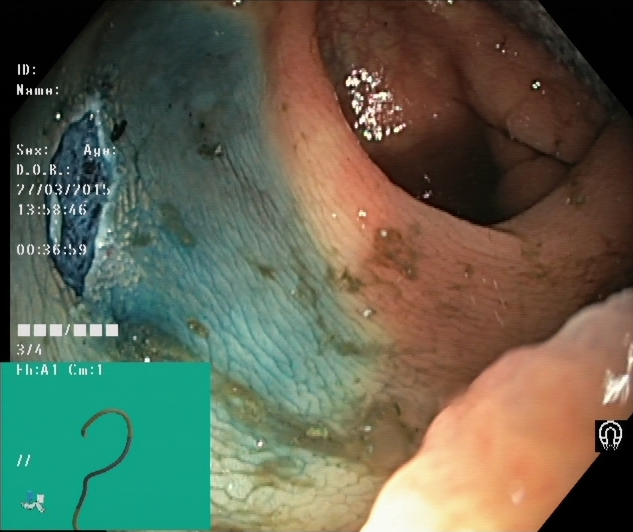Endoscopy image of the lower GI tract showing dyed resection margins (post-polypectomy).